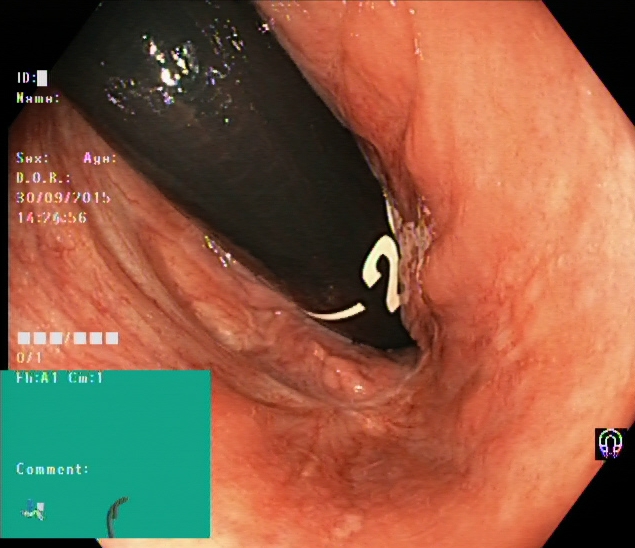modality: lower-GI endoscopy | tract: lower GI tract | finding: rectum in retroflexion